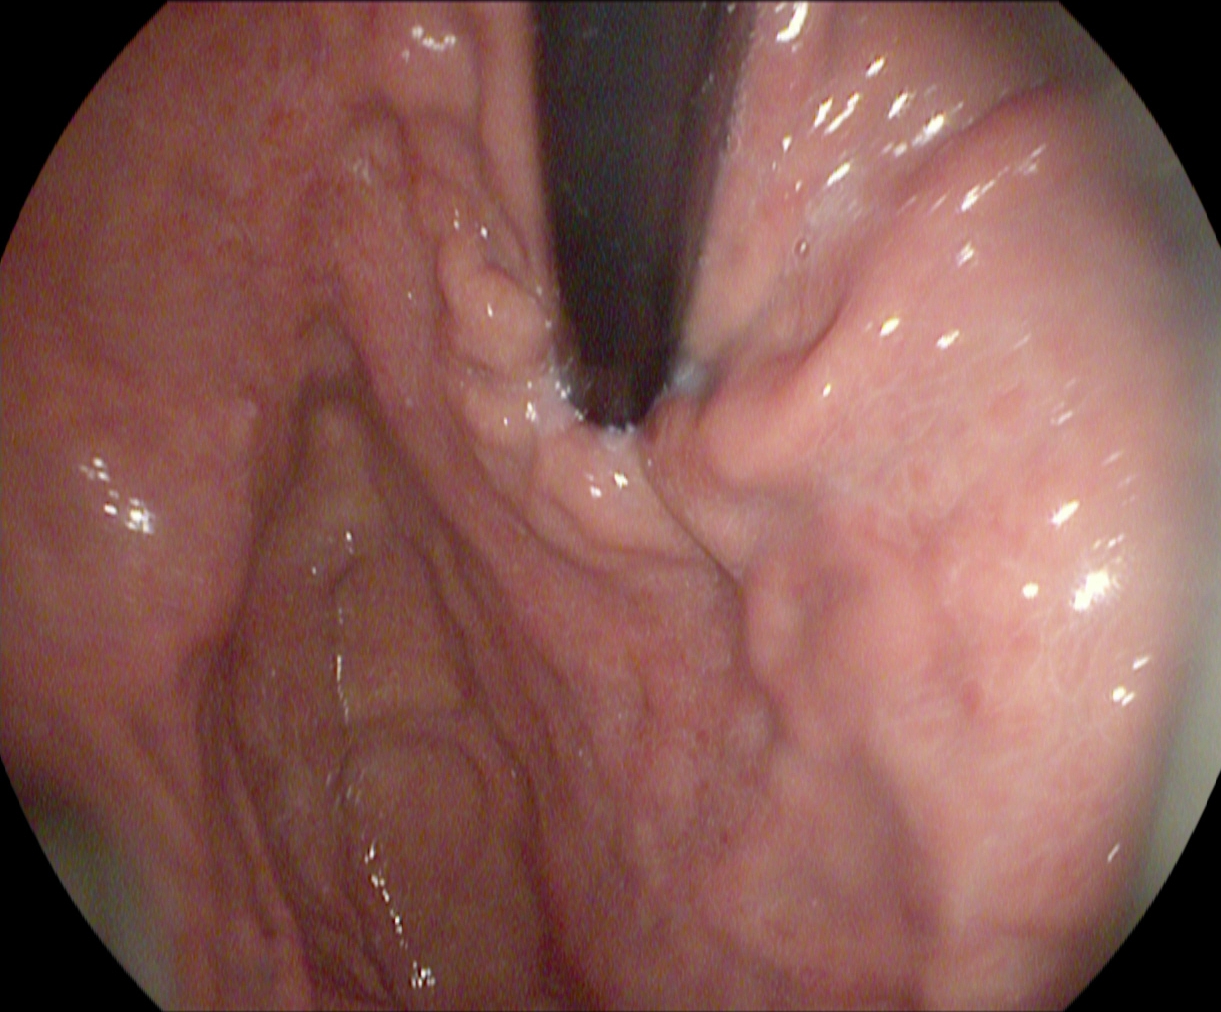PROCEDURE: Gastroscopy.
CATEGORY: Anatomical landmark.
FINDINGS: Stomach in retroflexion.